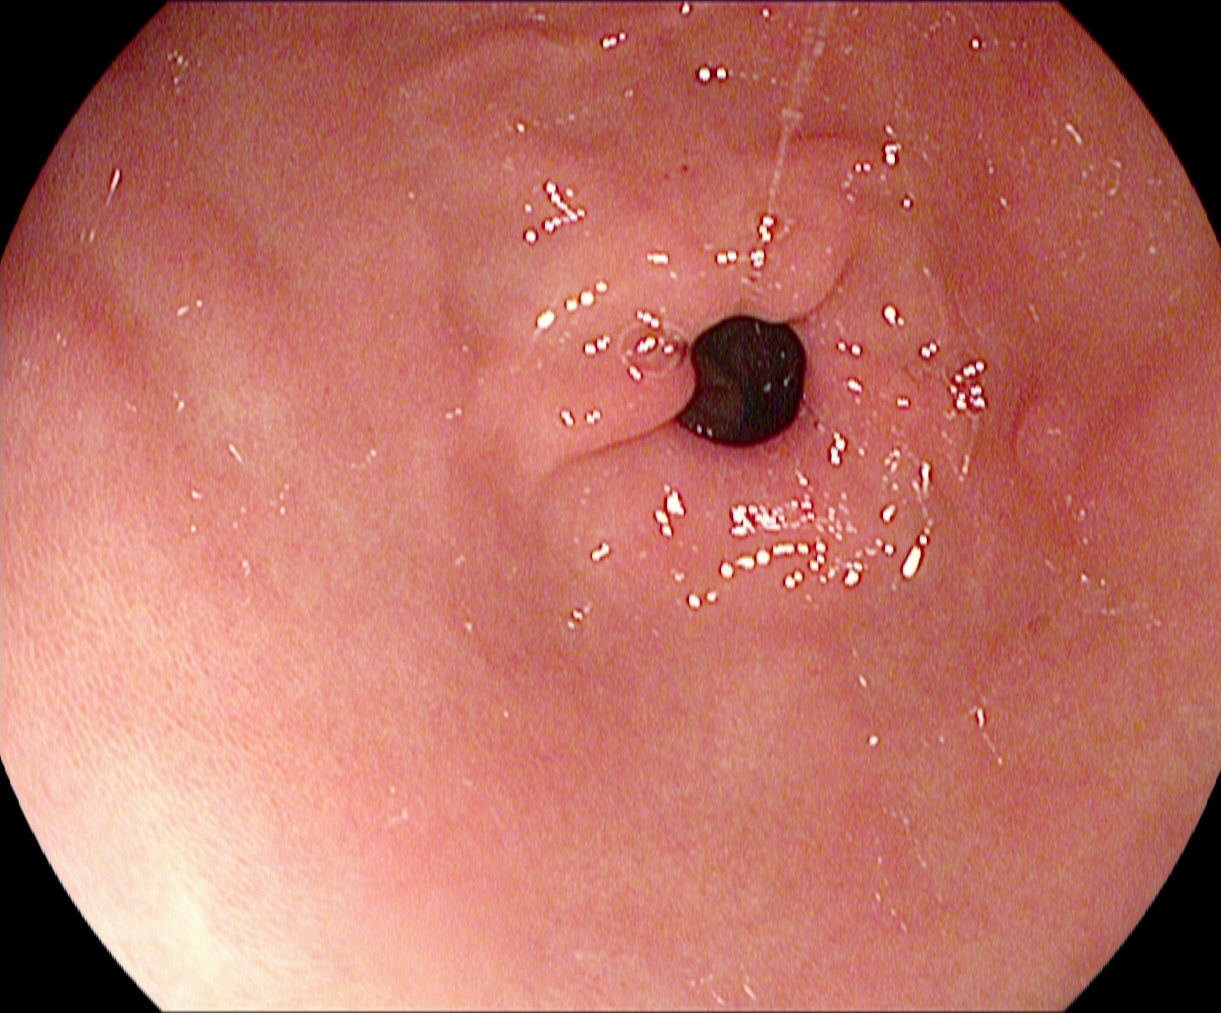Gastroscopy image of the upper GI tract showing pylorus.